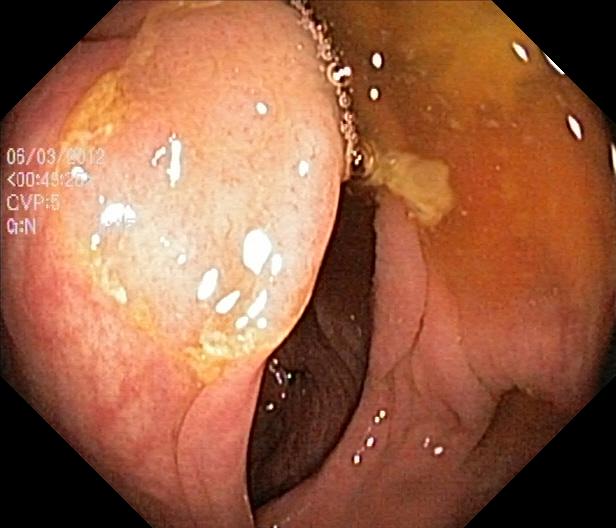Lower-GI endoscopy. Tract: lower GI tract. Finding: colorectal polyp(s).